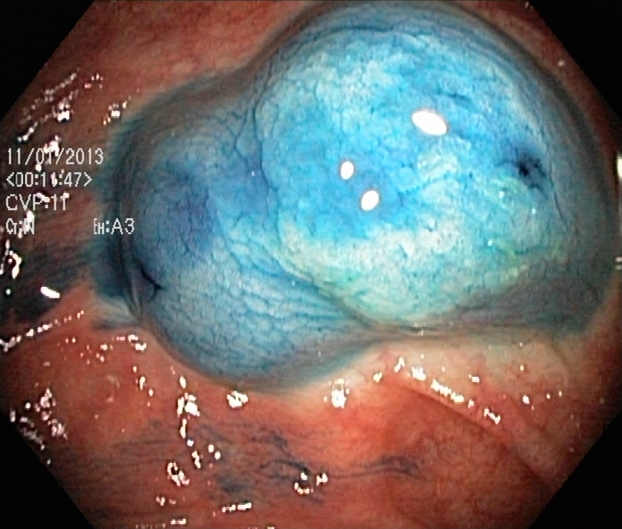{"modality": "colonoscopy", "finding": "dyed and lifted polyp (pre-resection)"}